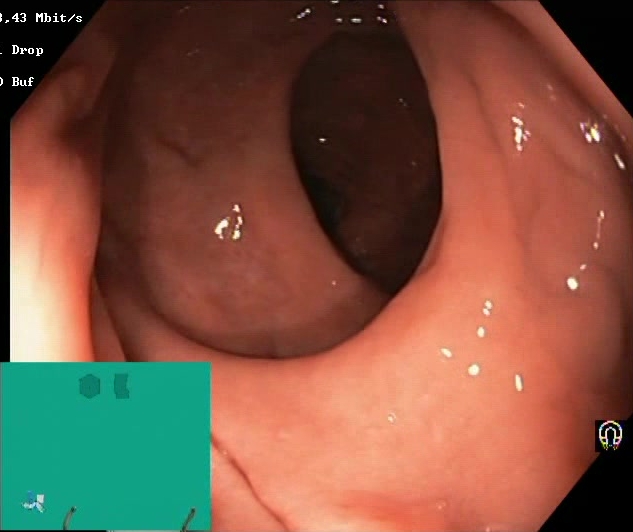GI endoscopy image showing Boston Bowel Preparation Scale score 2–3 (adequate preparation).